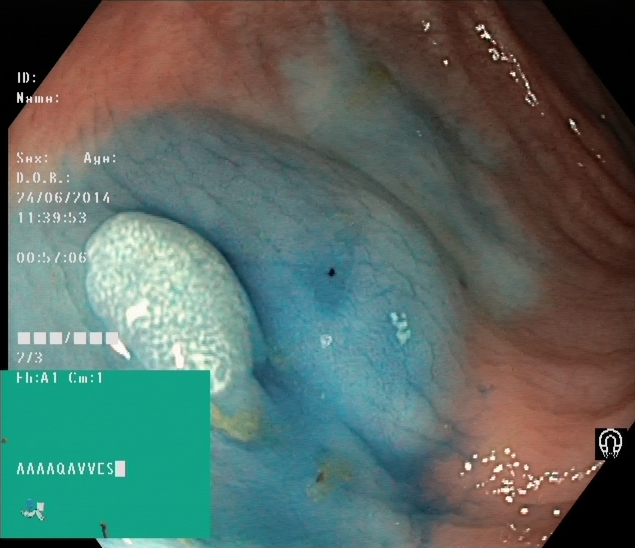modality: lower-GI endoscopy
finding: dyed and lifted polyp (pre-resection)